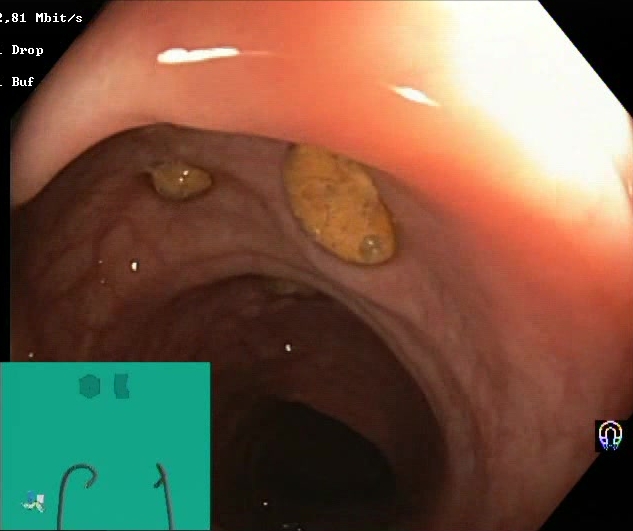PROCEDURE: Colonoscopy.
CATEGORY: Mucosal-view quality.
FINDINGS: Impacted stool.